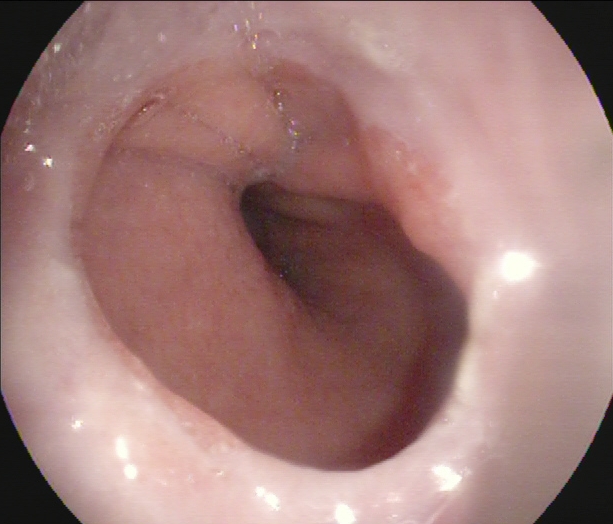This endoscopic image of the upper GI tract shows Z-line (gastroesophageal junction).